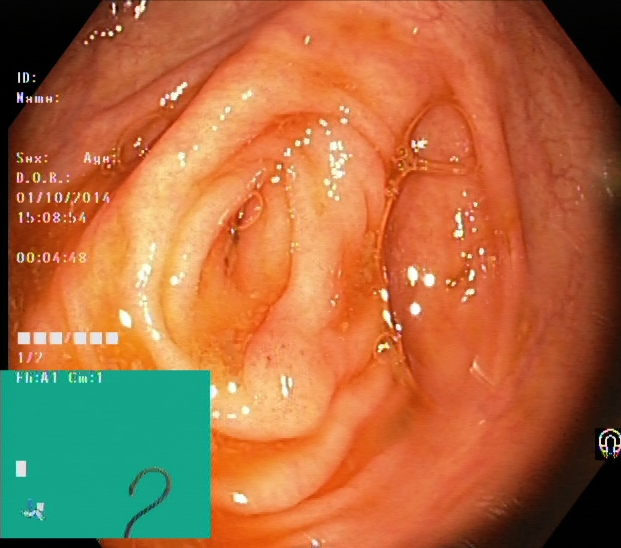modality: colonoscopy
tract: lower GI tract
finding: cecum